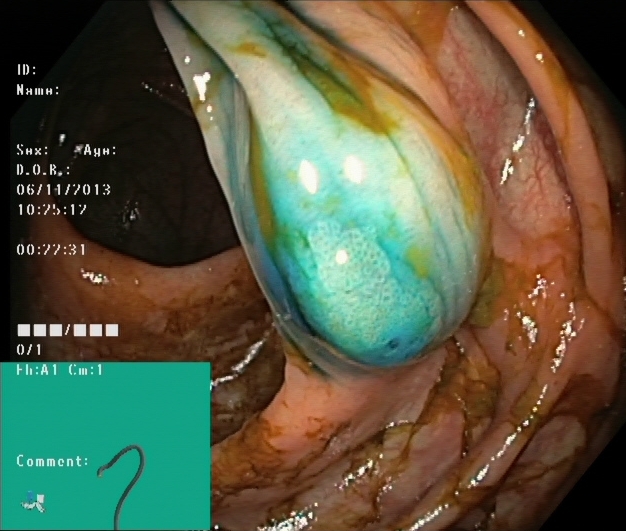{"modality": "lower gastrointestinal endoscopy", "category": "therapeutic intervention", "finding": "dyed and lifted polyp (pre-resection)"}